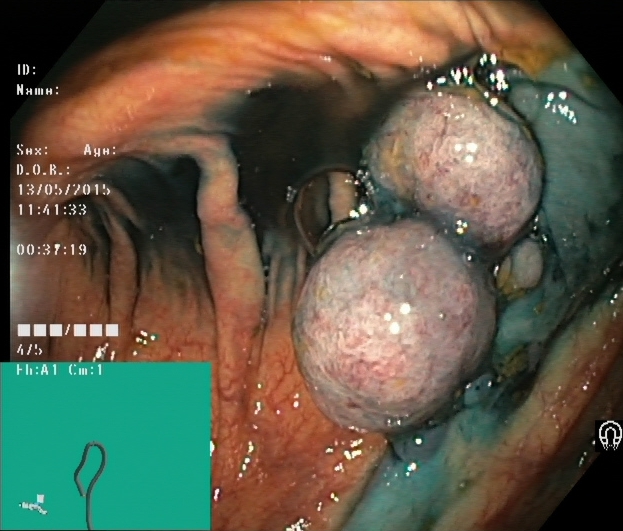Dyed and lifted polyp (pre-resection).